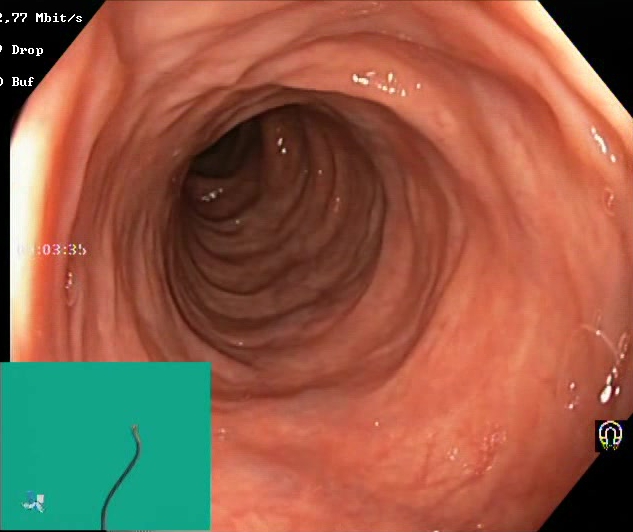Lower gastrointestinal endoscopy image showing Boston Bowel Preparation Scale score 2–3 (adequate preparation).